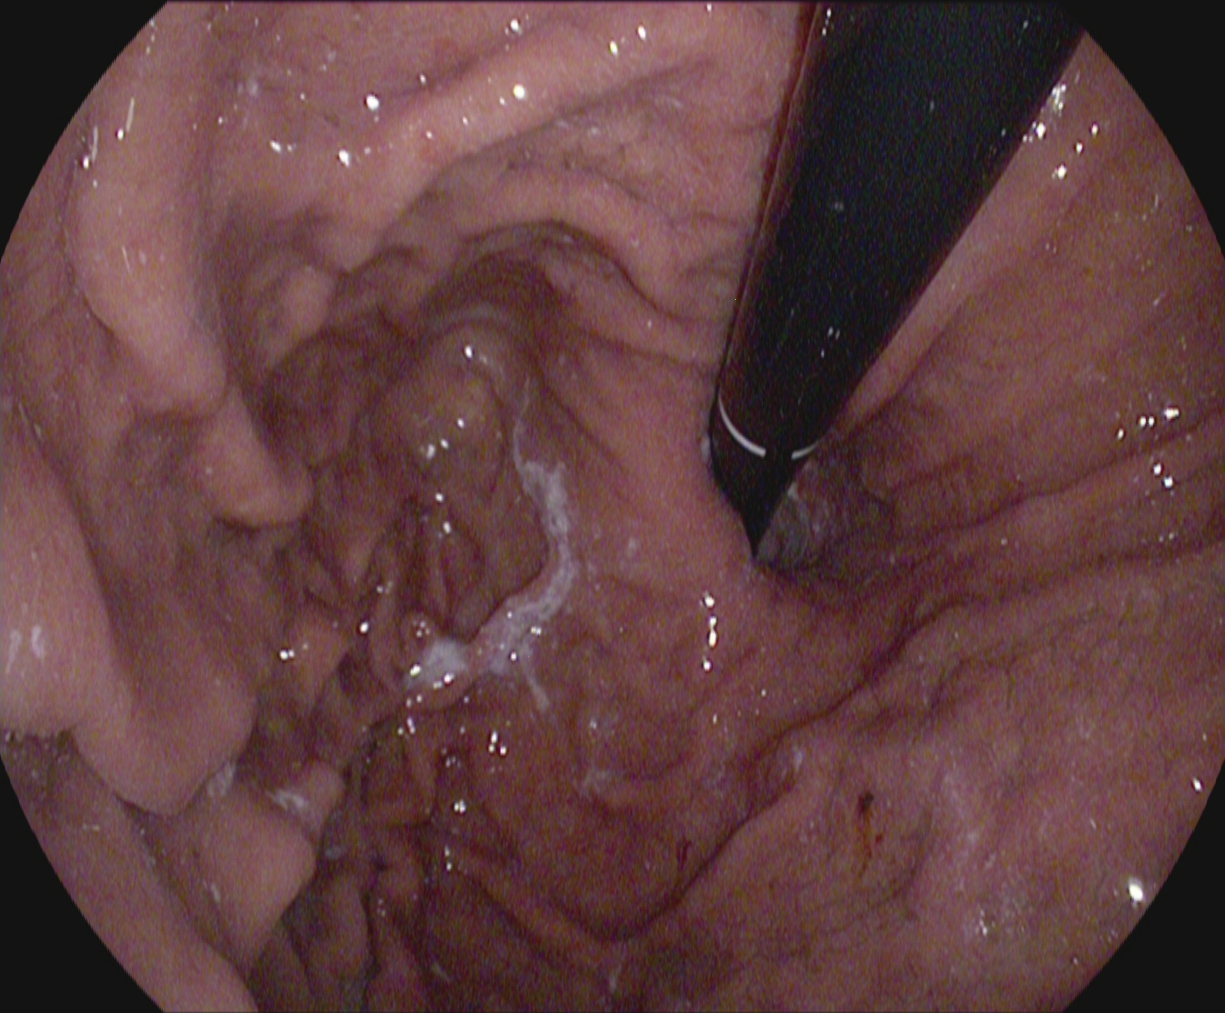Gastrointestinal endoscopy image of the upper GI tract showing stomach in retroflexion.